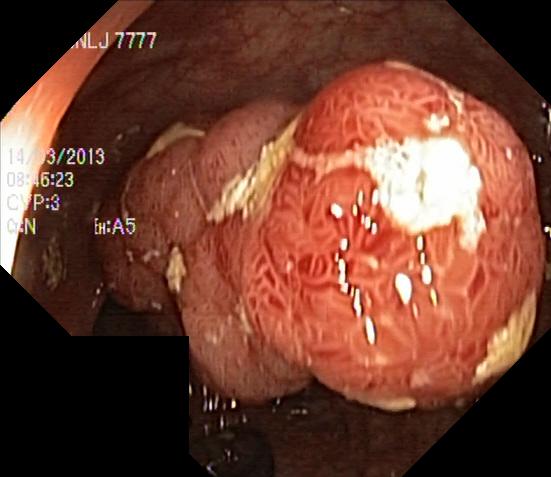PROCEDURE: Colonoscopy.
FINDINGS: Colorectal polyp(s).